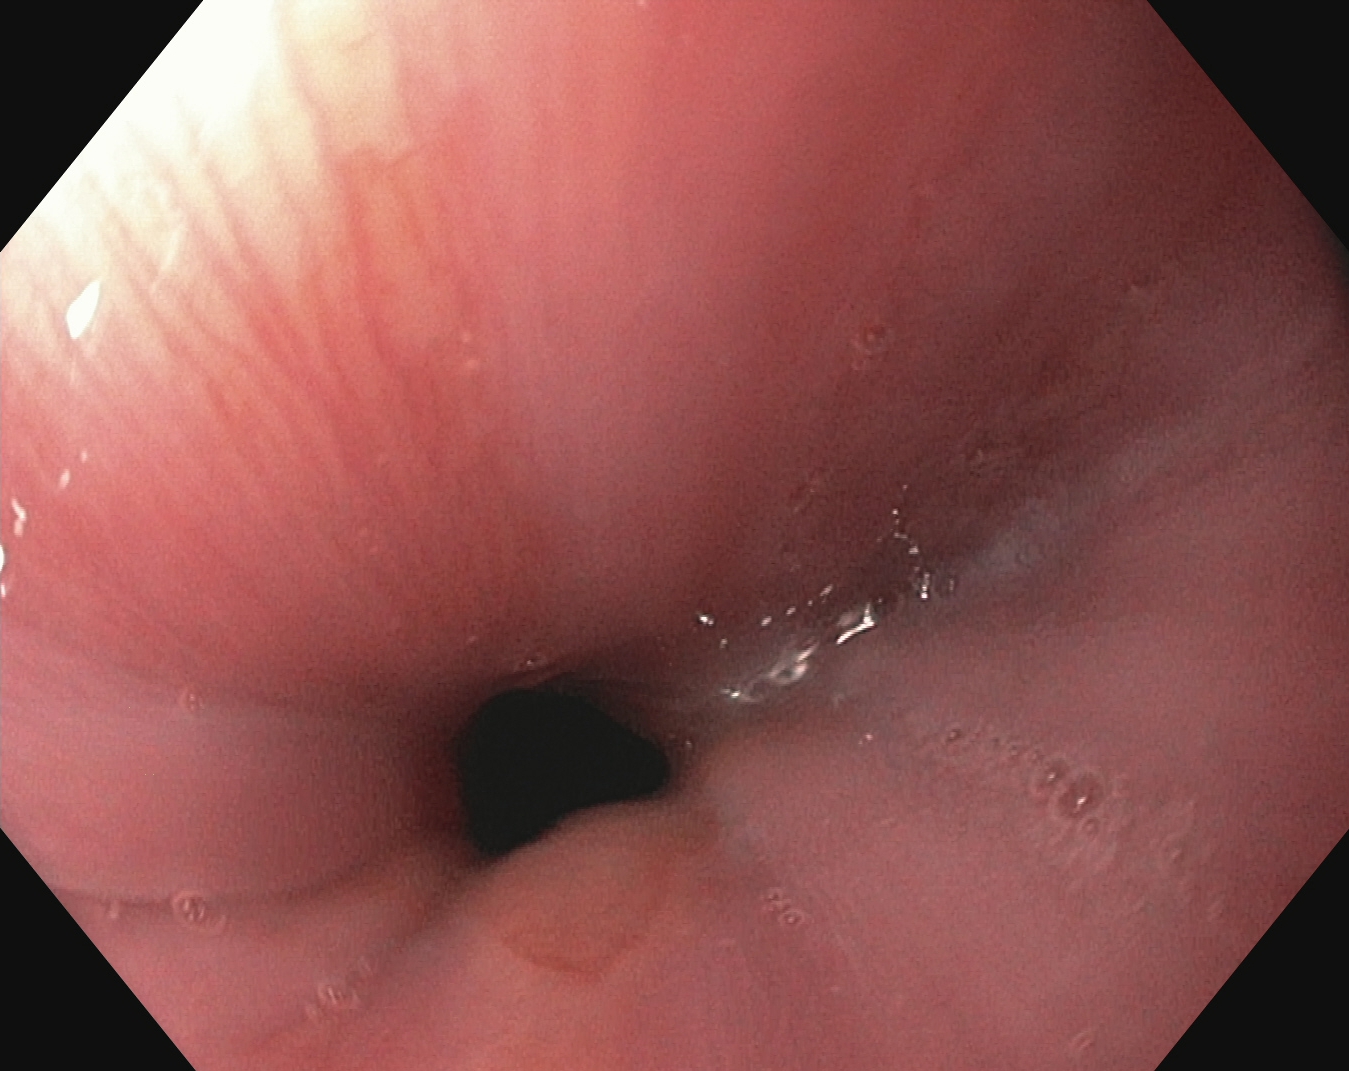This endoscopy frame of the upper GI tract shows Z-line (gastroesophageal junction).